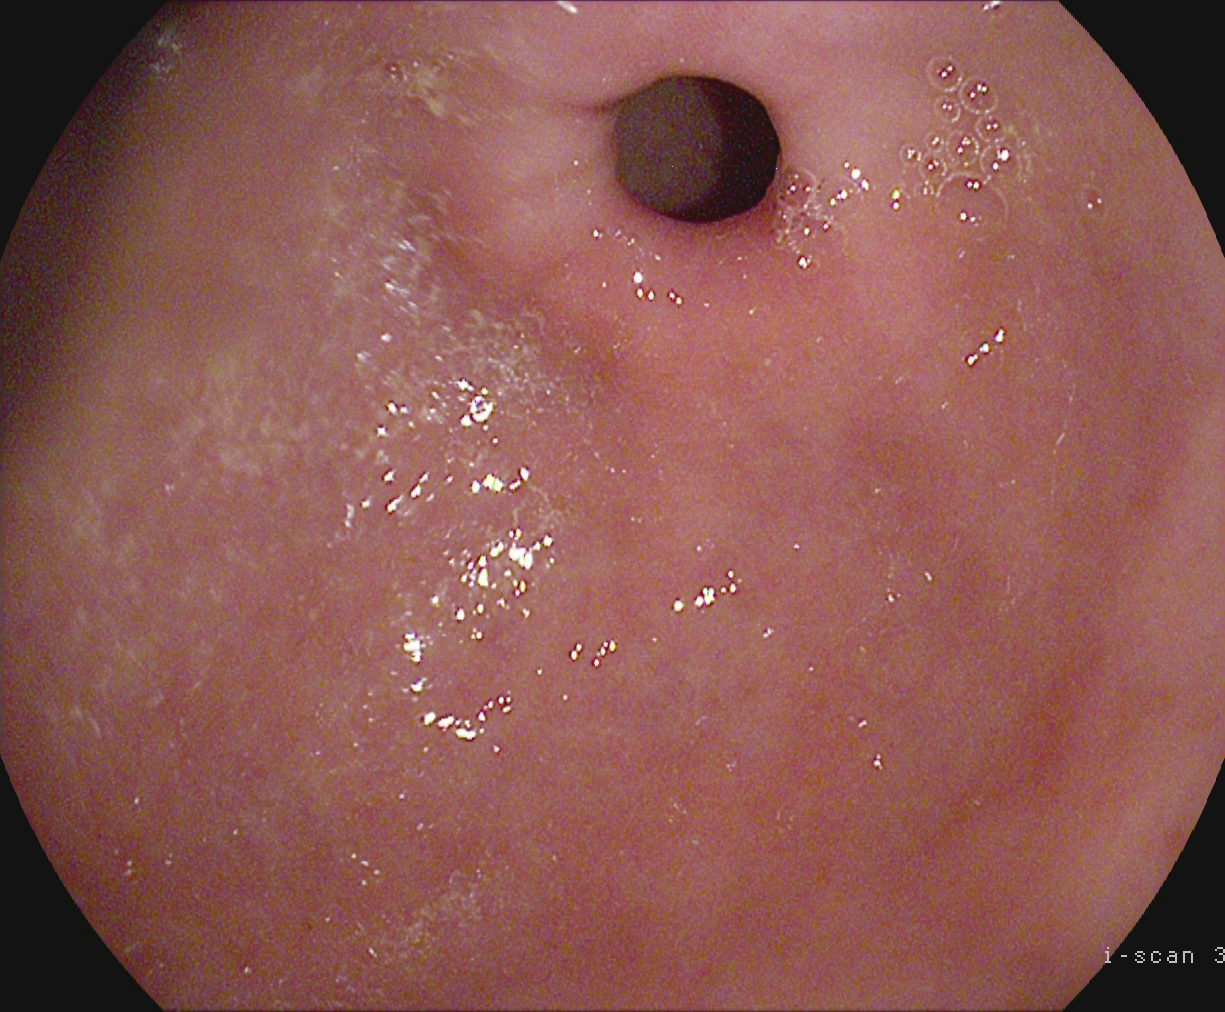Gastrointestinal endoscopy image of the upper GI tract showing pylorus.